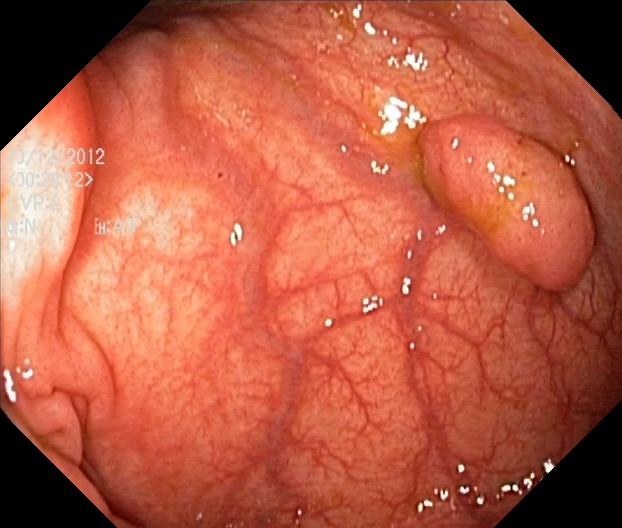{"modality": "lower gastrointestinal endoscopy", "tract": "lower GI tract", "category": "pathological finding", "finding": "colorectal polyp(s)"}